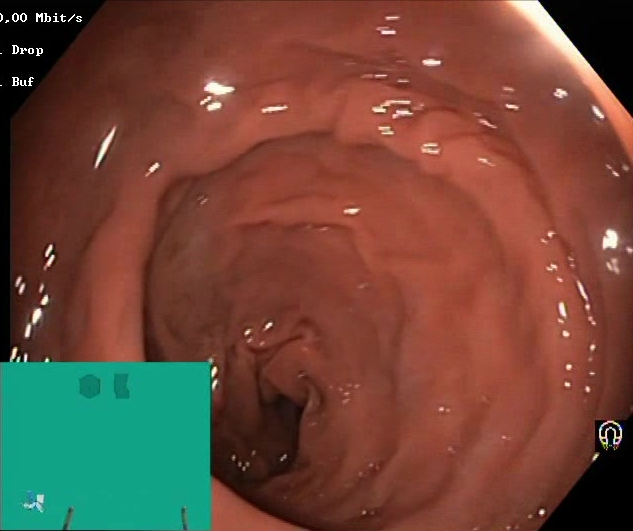Colonoscopy — BBPS score 2–3 (adequate preparation).